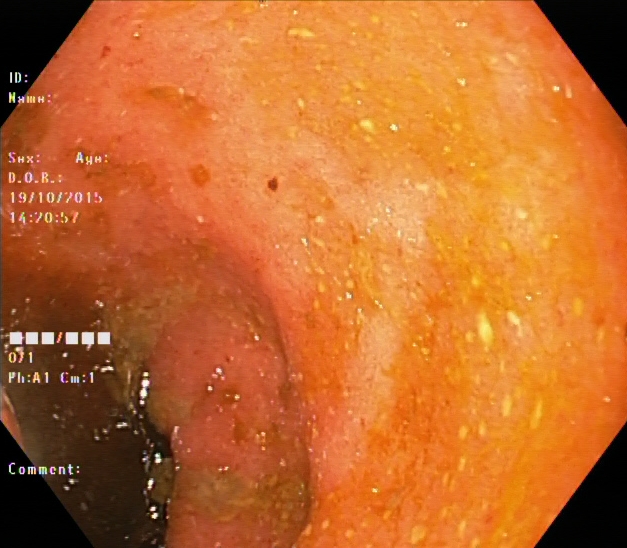GI endoscopy image of the lower GI tract showing ulcerative colitis, Mayo endoscopic subscore 2.